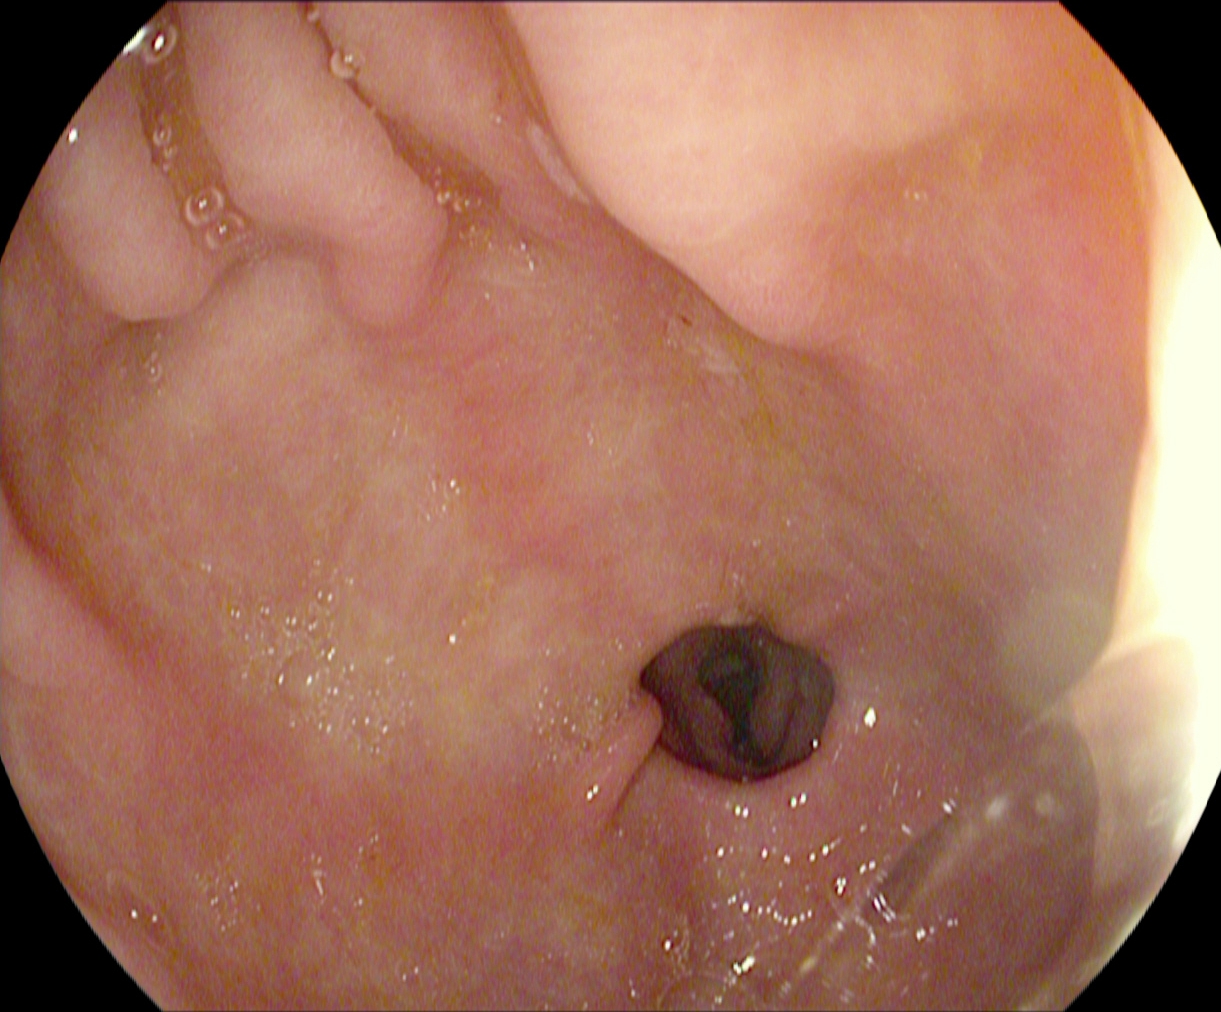pylorus.